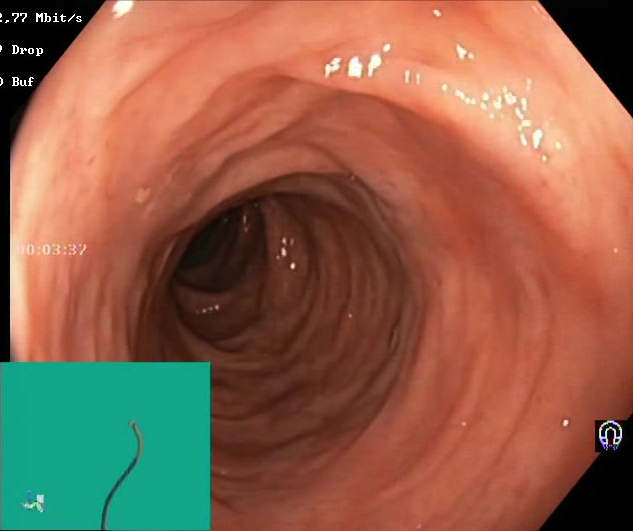PROCEDURE: Lower-GI endoscopy.
CATEGORY: Mucosal-view quality.
FINDINGS: Boston Bowel Preparation Scale score 2–3 (adequate preparation).